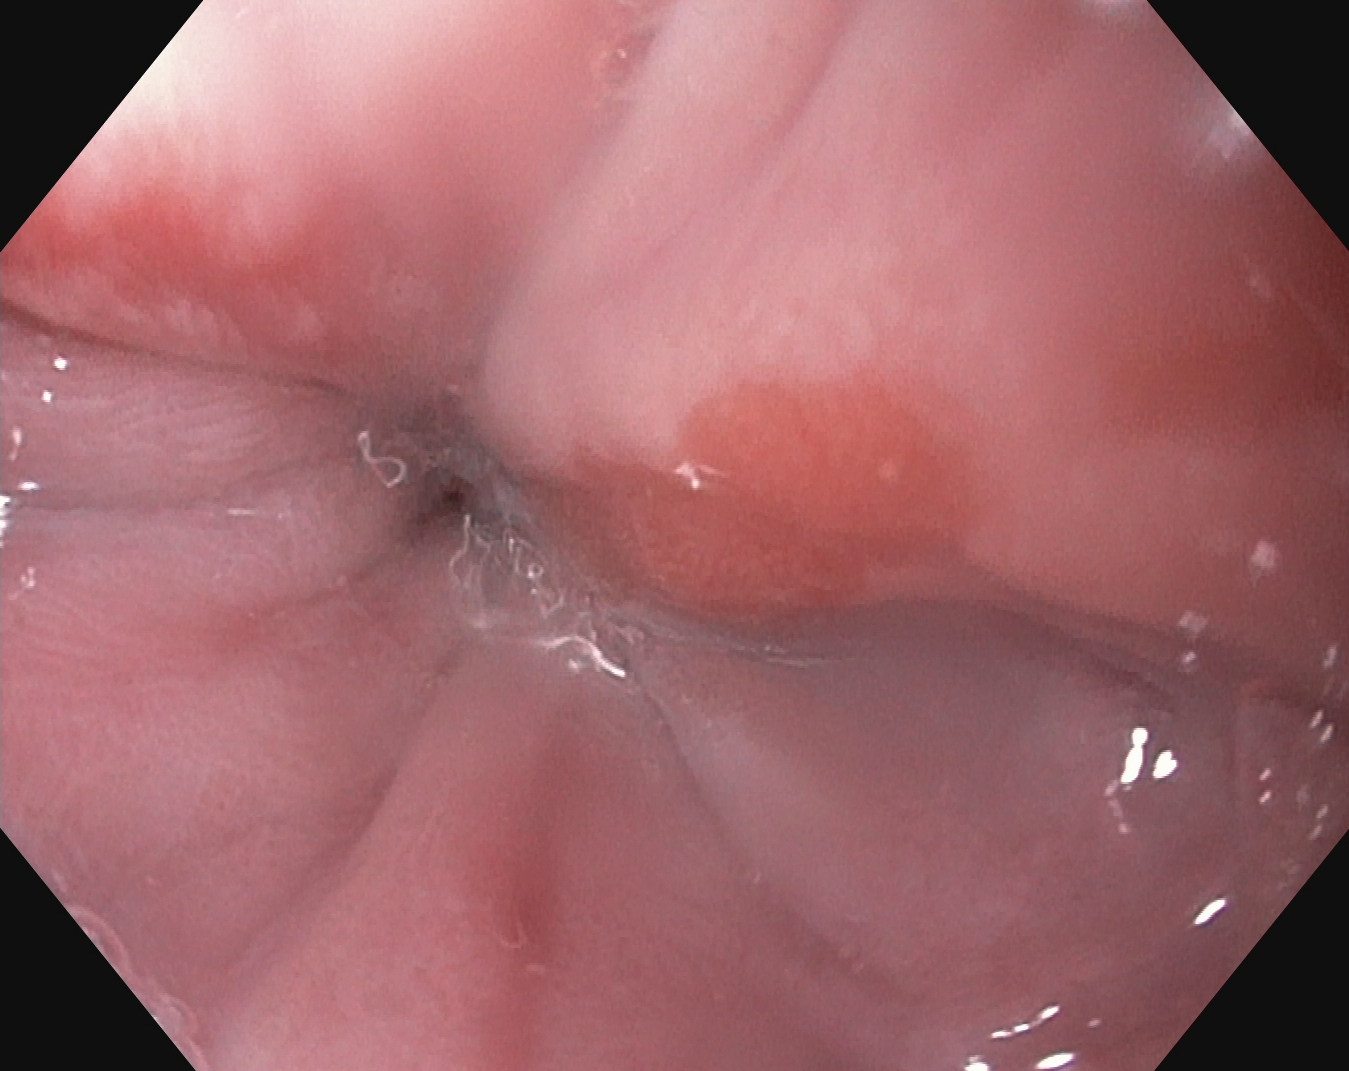This endoscopic image of the upper GI tract shows Z-line (gastroesophageal junction).